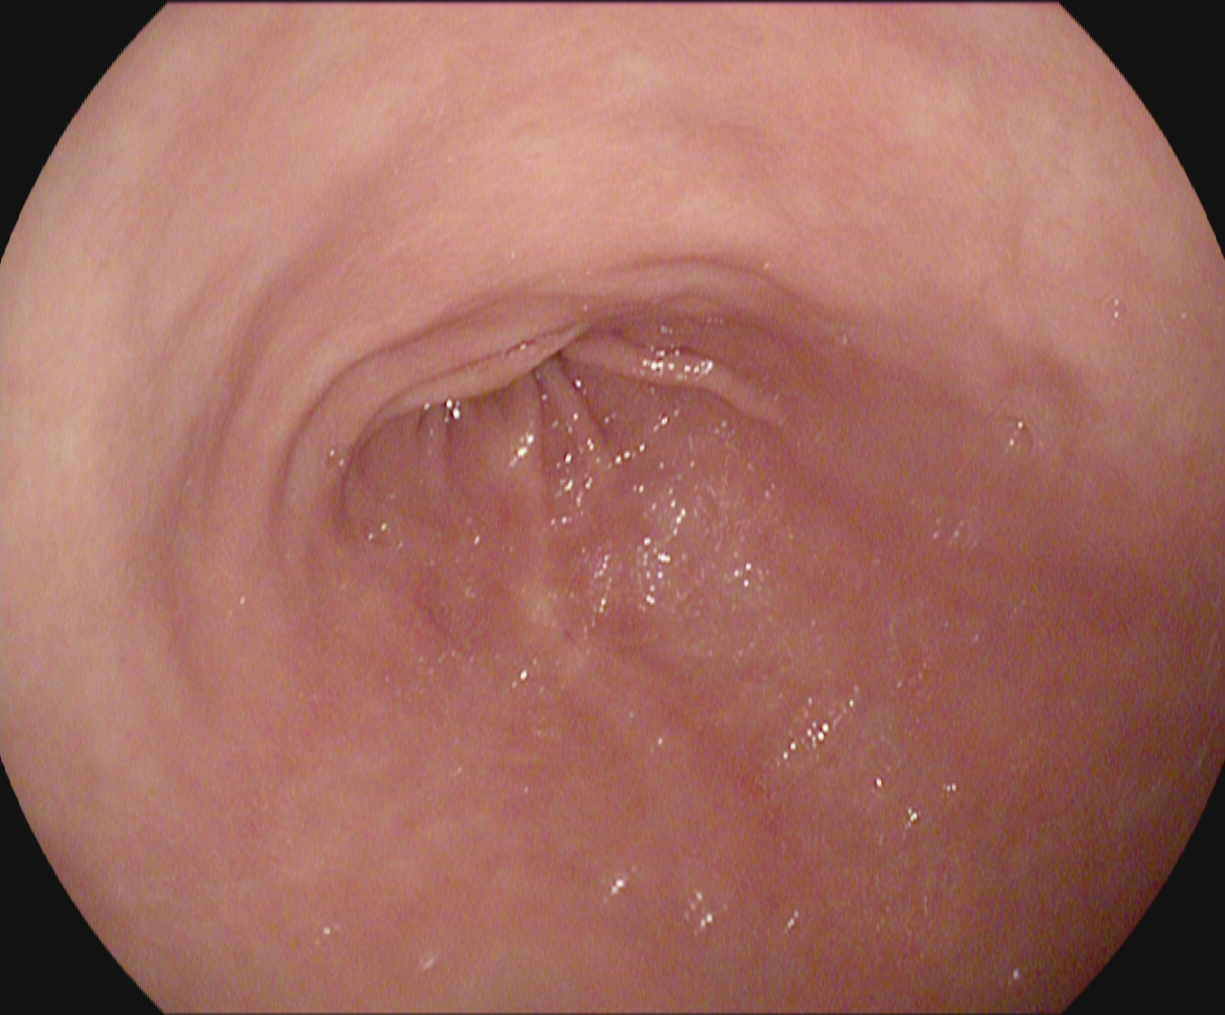modality: upper-GI endoscopy
finding: pylorus